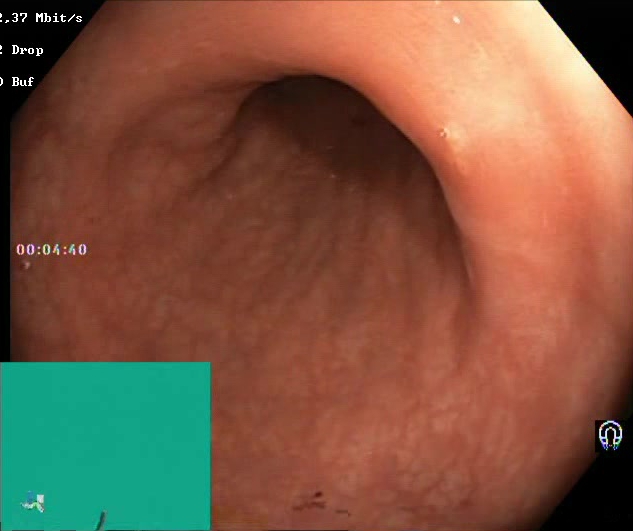Lower gastrointestinal endoscopy. Tract: lower GI tract. Mucosal-view quality. Finding: BBPS score 2–3 (adequate preparation).